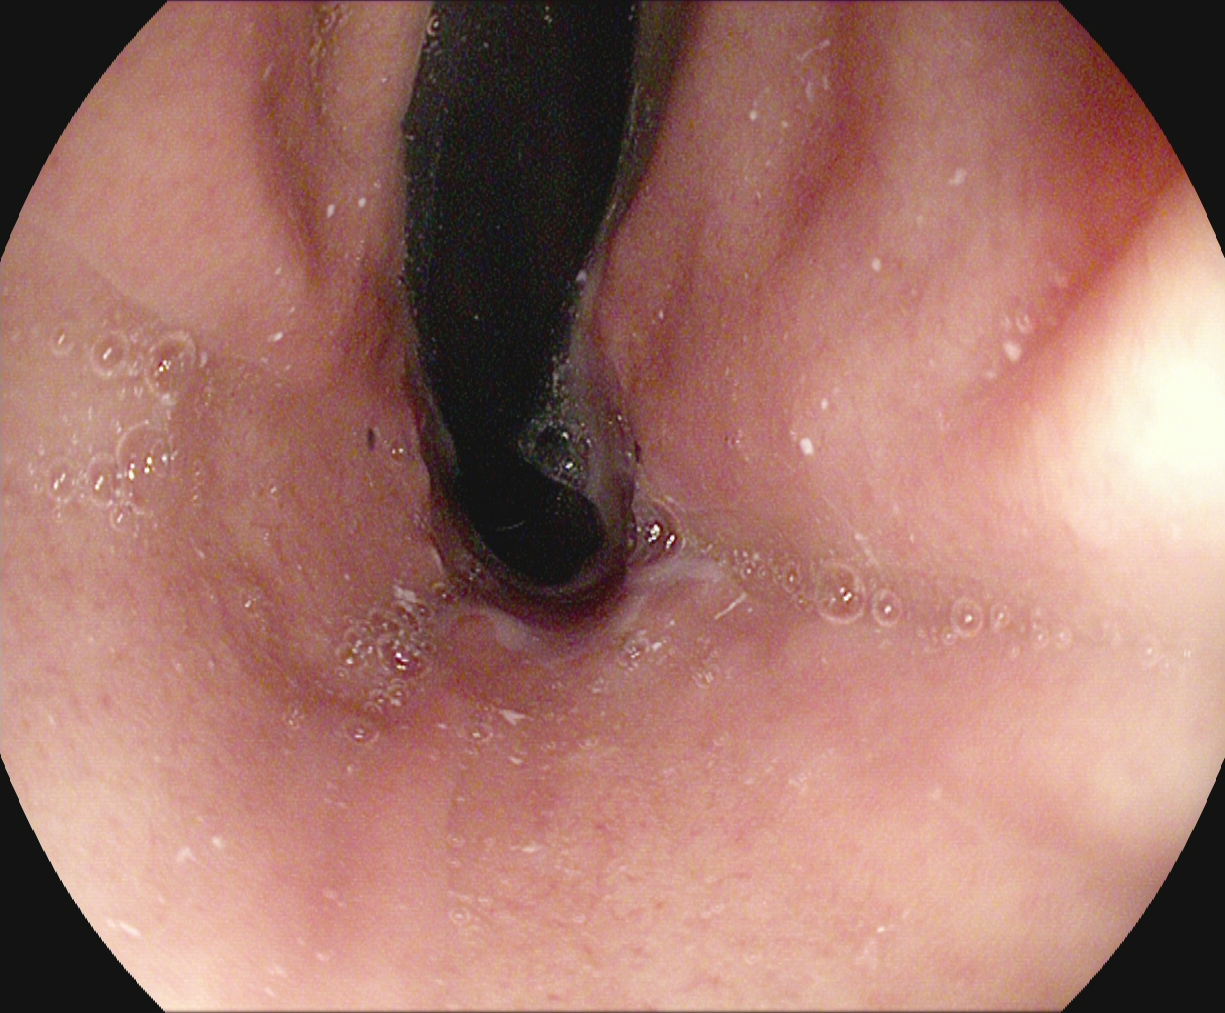EGD. Anatomical landmark. Finding: stomach in retroflexion.